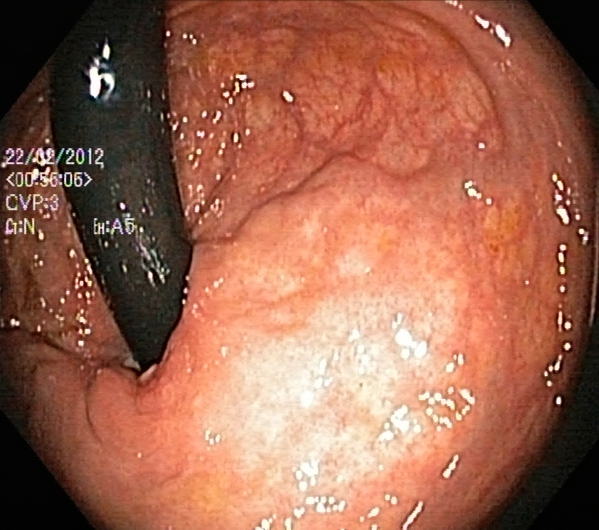modality: colonoscopy
finding: rectum in retroflexion